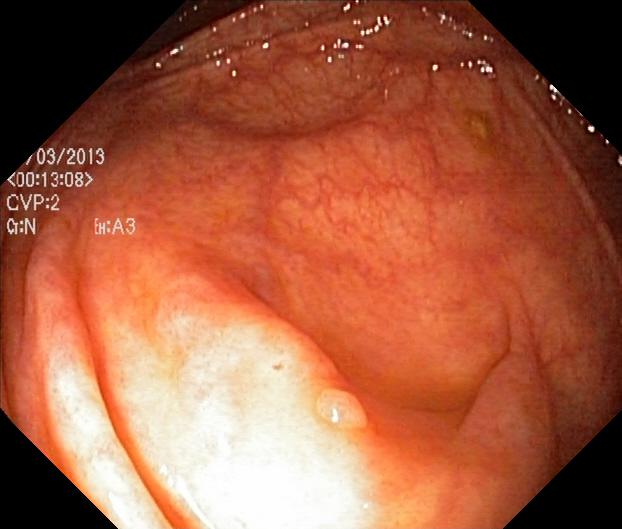{"modality": "colonoscopy", "category": "pathological finding", "finding": "colorectal polyp(s)"}